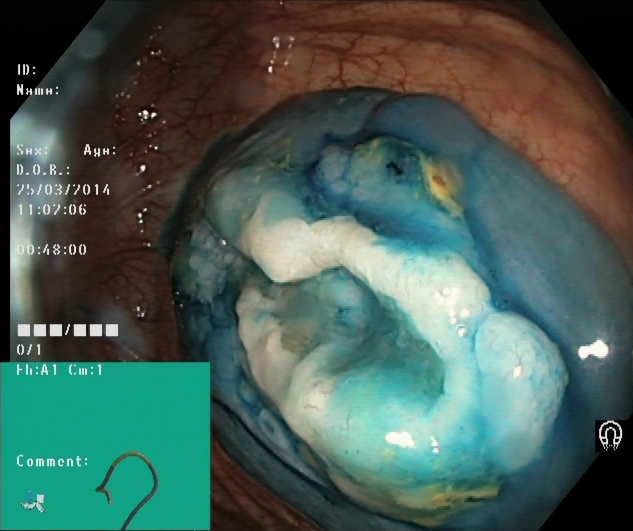modality: lower-GI endoscopy | tract: lower GI tract | category: therapeutic intervention | finding: dyed and lifted polyp (pre-resection)